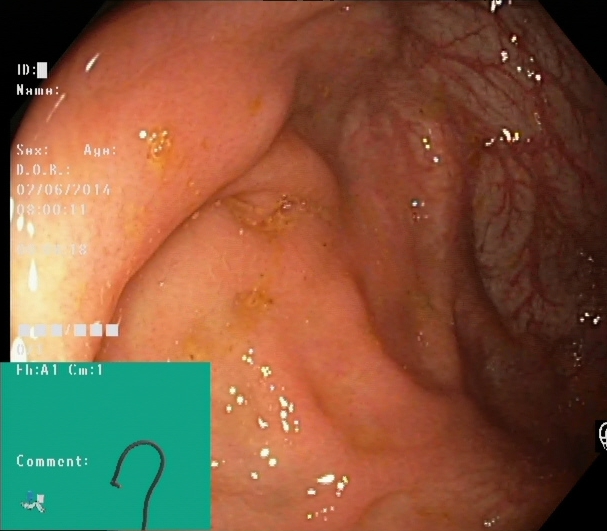PROCEDURE: Lower gastrointestinal endoscopy.
CATEGORY: Anatomical landmark.
FINDINGS: Cecum.